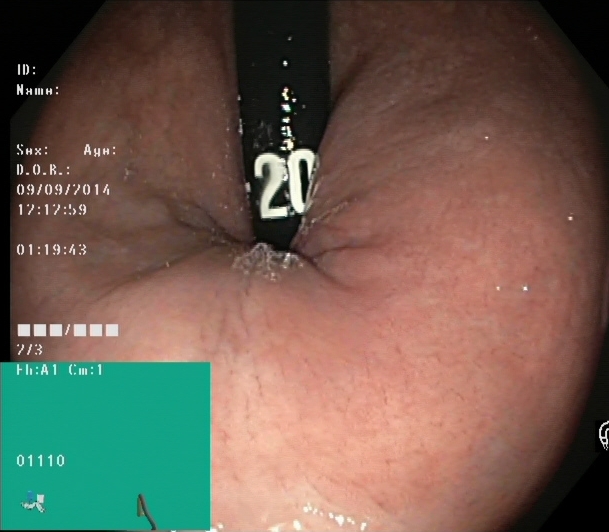This endoscopy frame of the lower GI tract shows rectum in retroflexion.